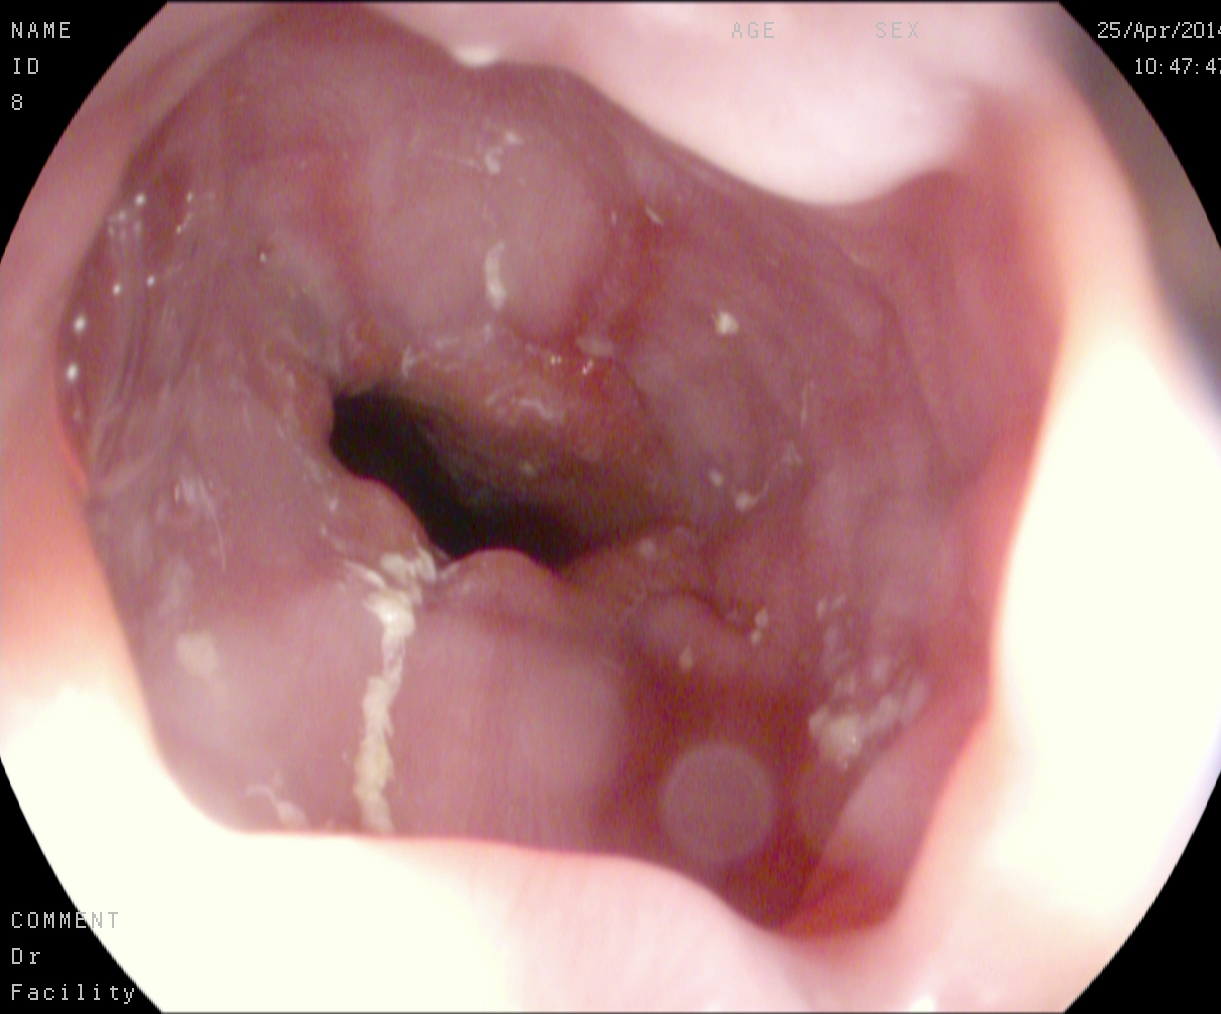modality: upper-GI endoscopy
finding: reflux esophagitis, LA grade A